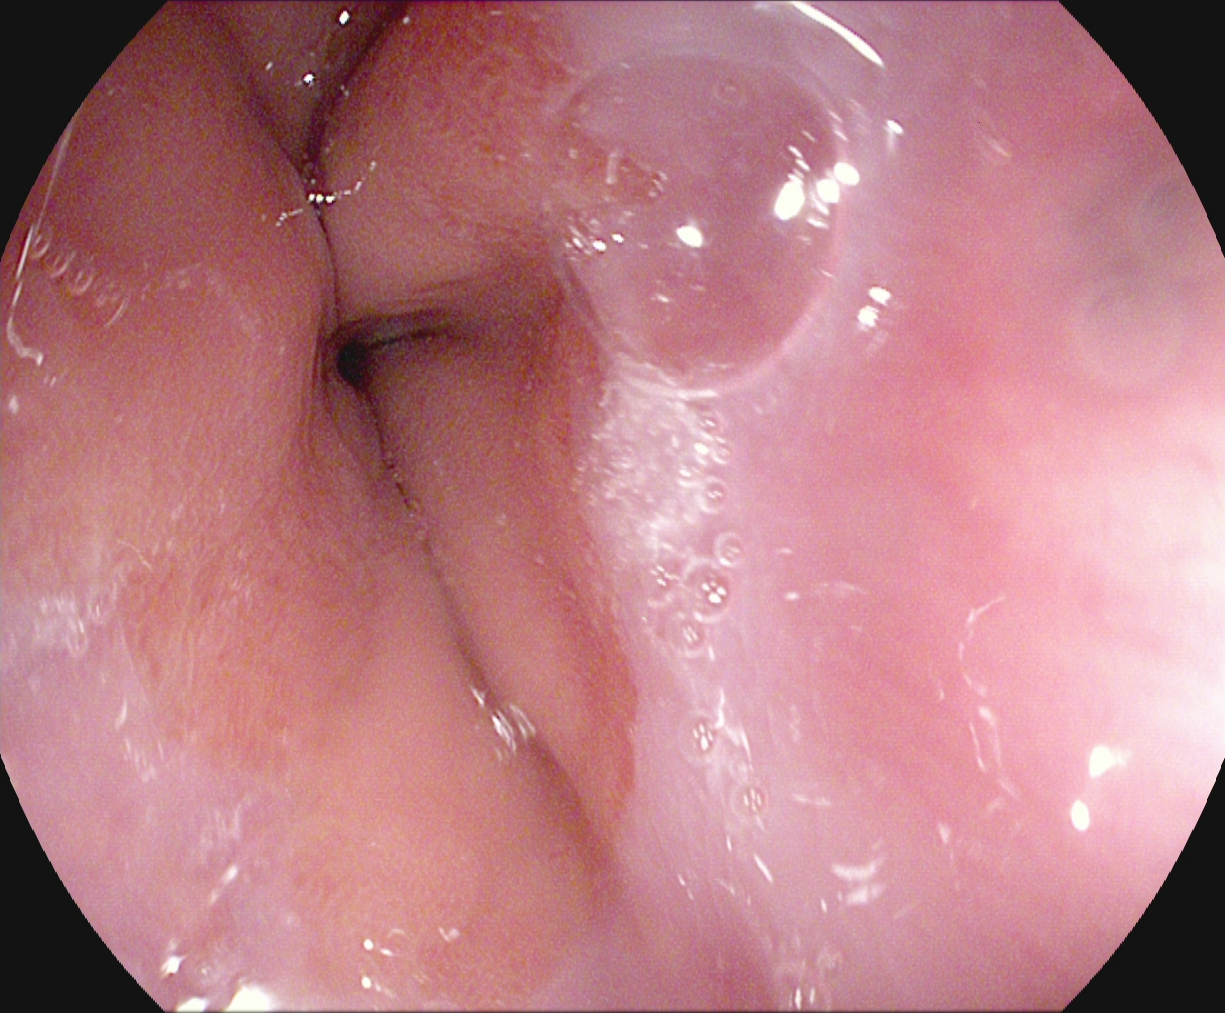This endoscopy frame of the upper GI tract shows Z-line (gastroesophageal junction).